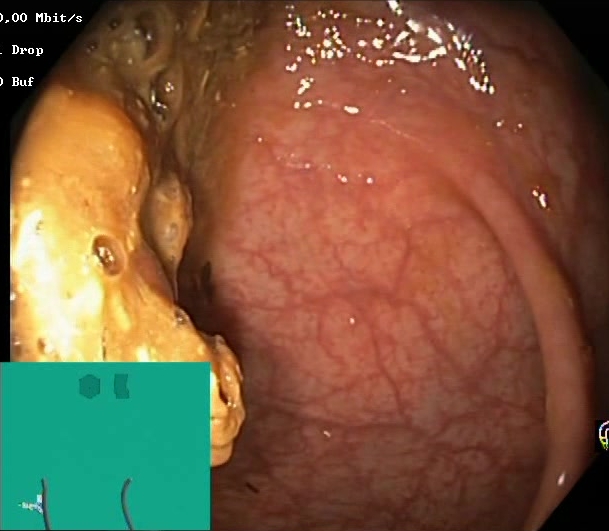PROCEDURE: Lower-GI endoscopy.
CATEGORY: Mucosal-view quality.
FINDINGS: Boston Bowel Preparation Scale score 0–1 (inadequate preparation).